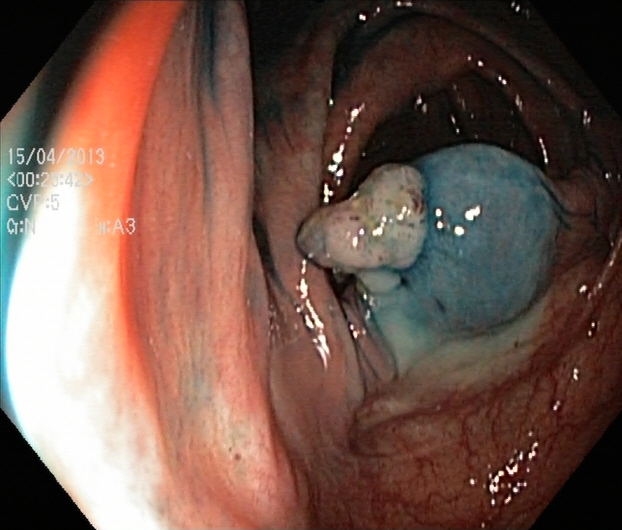modality: lower-GI endoscopy; tract: lower GI tract; finding: dyed and lifted polyp (pre-resection)